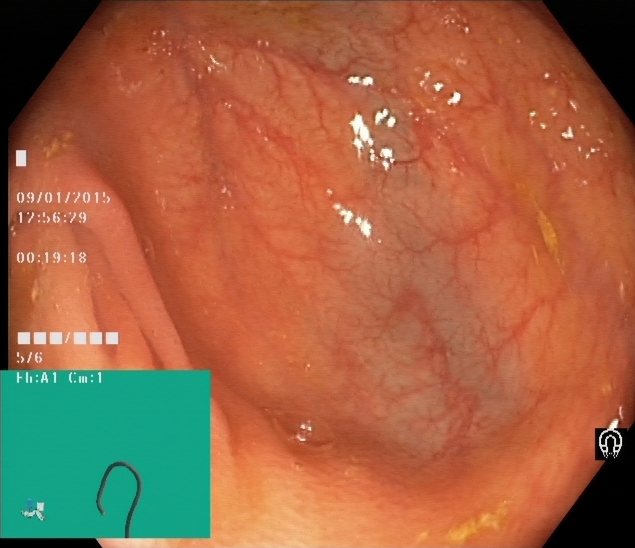Lower gastrointestinal endoscopy — cecum.